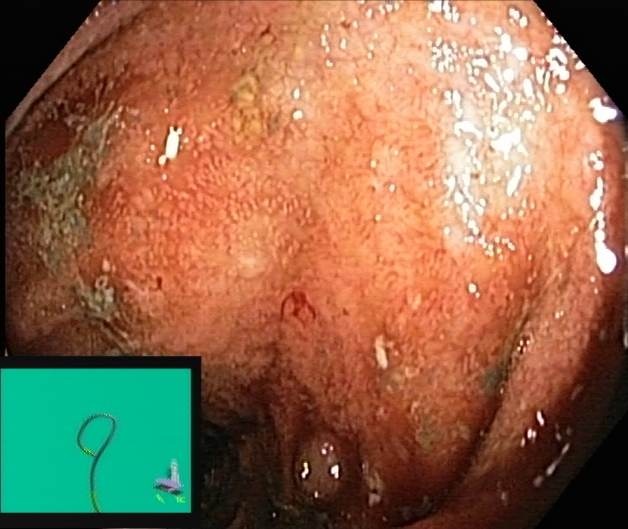GI endoscopy image of the lower GI tract showing UC, Mayo endoscopic subscore 2.